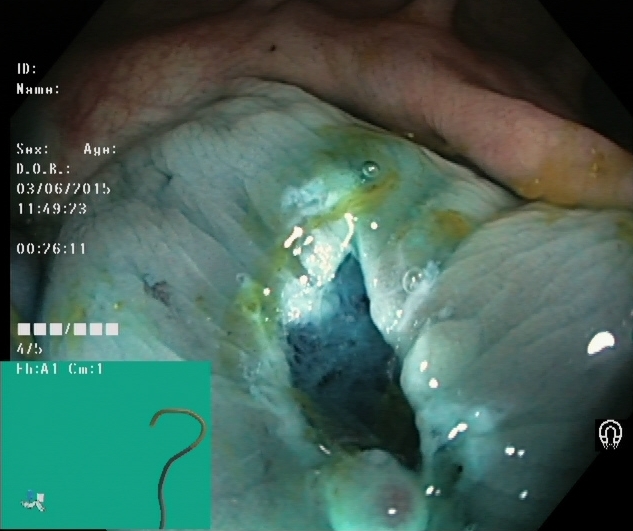PROCEDURE: Lower-GI endoscopy.
FINDINGS: Dyed resection margins (post-polypectomy).